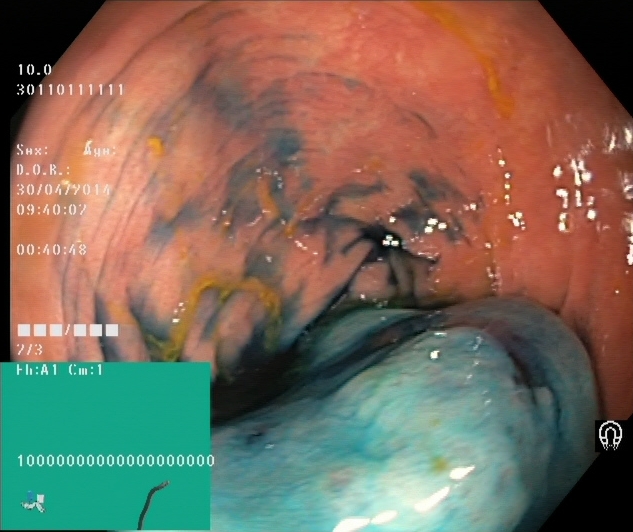Lower gastrointestinal endoscopy. Finding: dyed and lifted polyp (pre-resection).